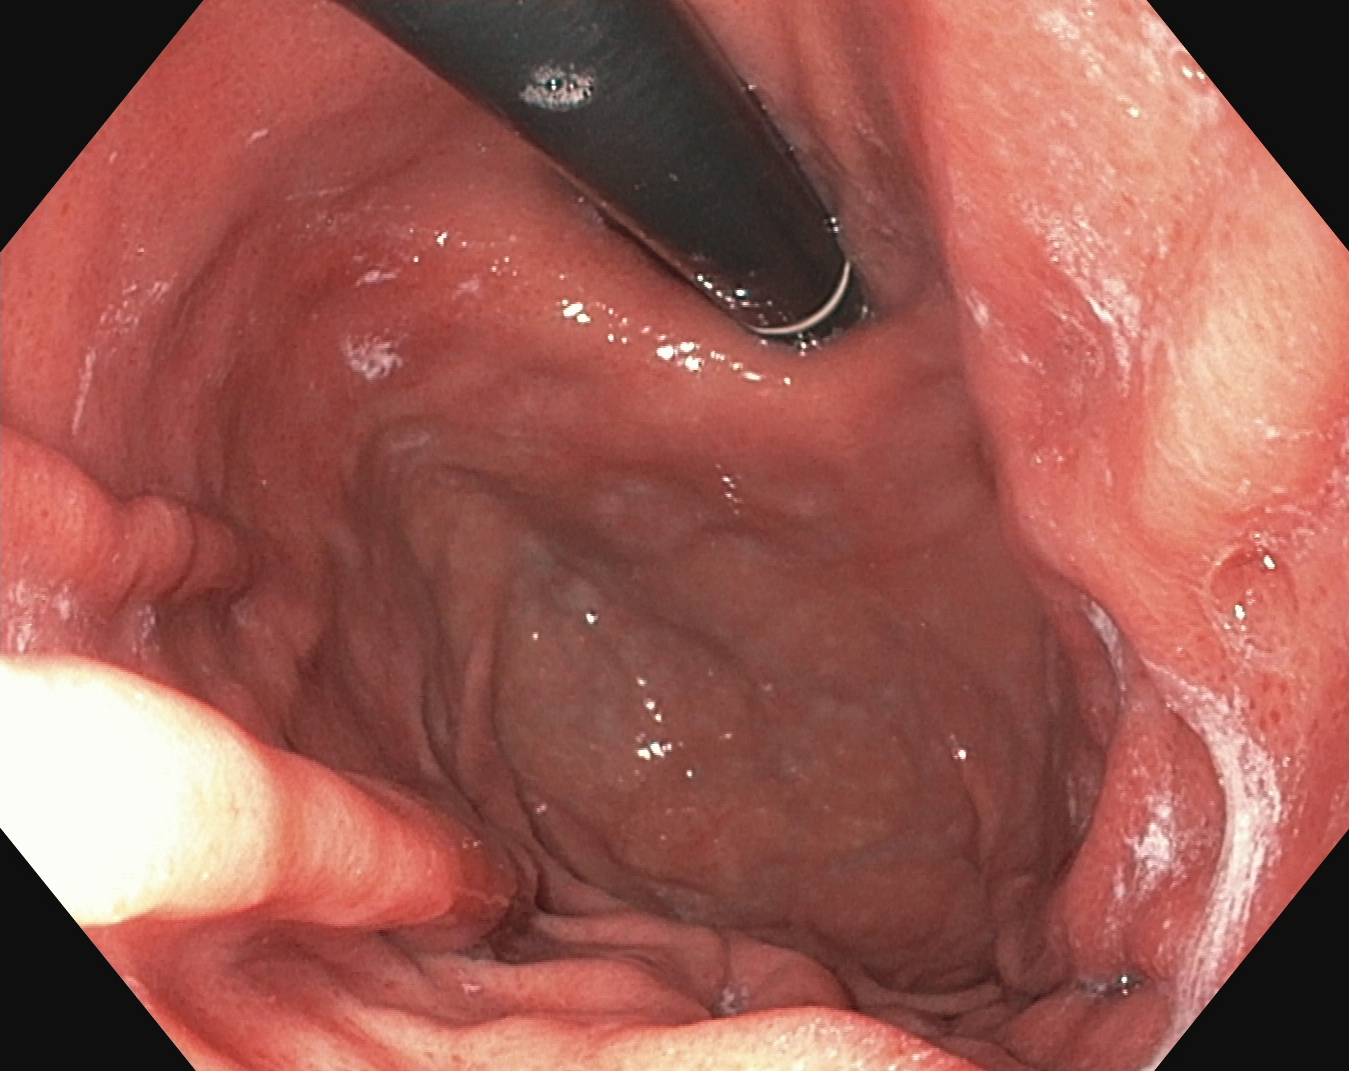{"modality": "upper-GI endoscopy", "tract": "upper GI tract", "finding": "stomach in retroflexion"}